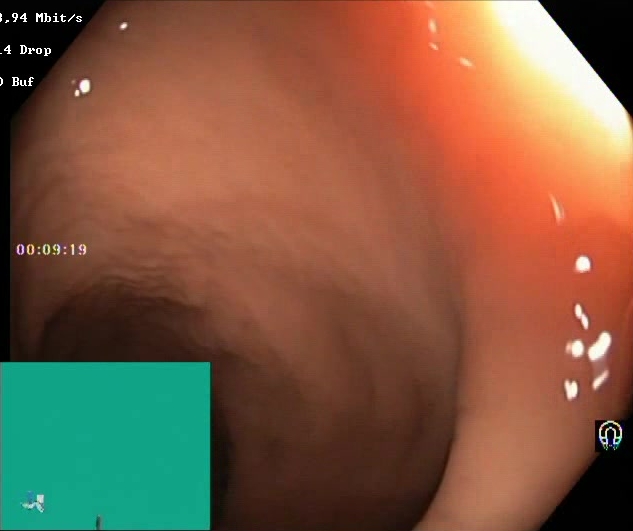{"modality": "lower-GI endoscopy", "tract": "lower GI tract", "finding": "BBPS score 2\u20133 (adequate preparation)"}